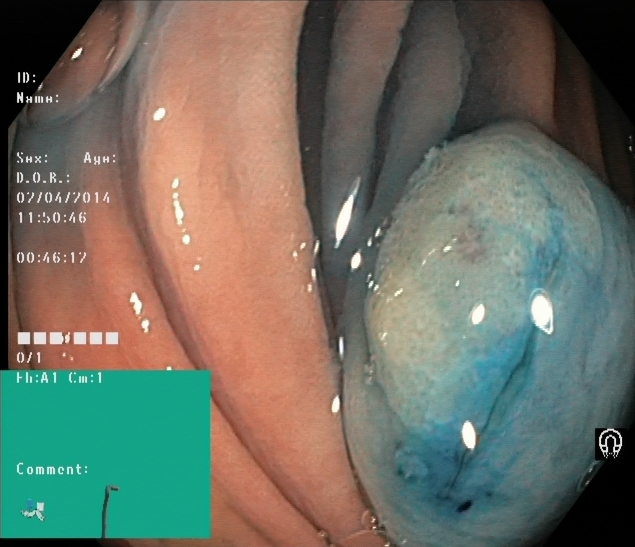modality: lower gastrointestinal endoscopy
tract: lower GI tract
finding: dyed and lifted polyp (pre-resection)